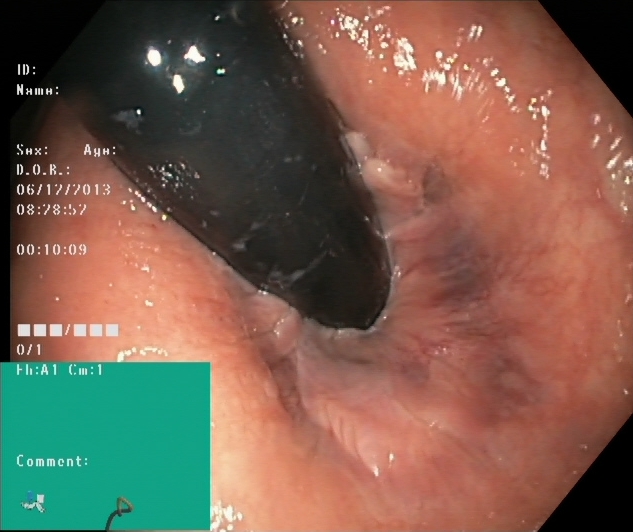modality: lower-GI endoscopy
tract: lower GI tract
finding: rectum in retroflexion